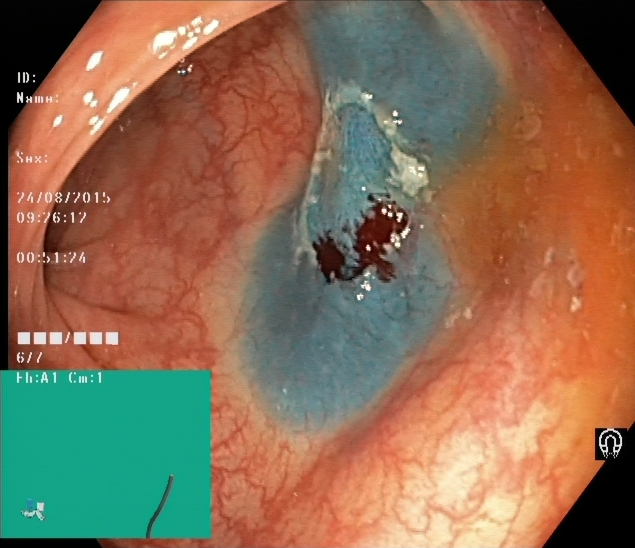Dyed resection margins (post-polypectomy).